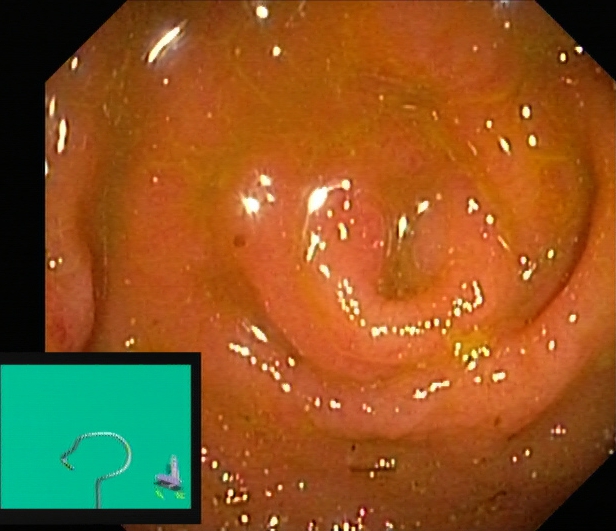PROCEDURE: Lower gastrointestinal endoscopy.
FINDINGS: Cecum.